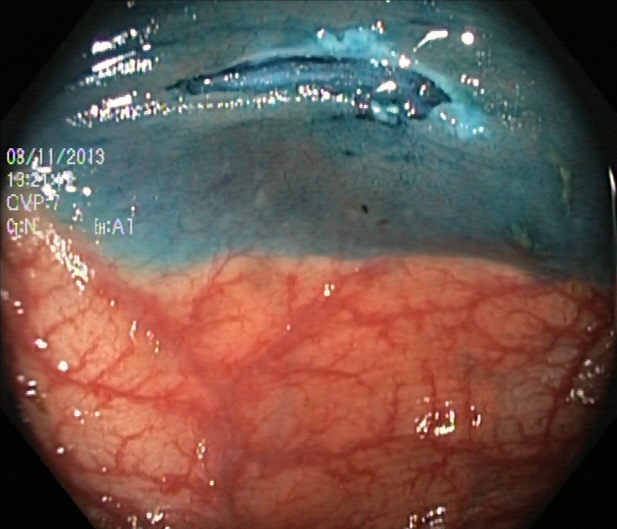PROCEDURE: Colonoscopy.
CATEGORY: Therapeutic intervention.
FINDINGS: Dyed resection margins (post-polypectomy).